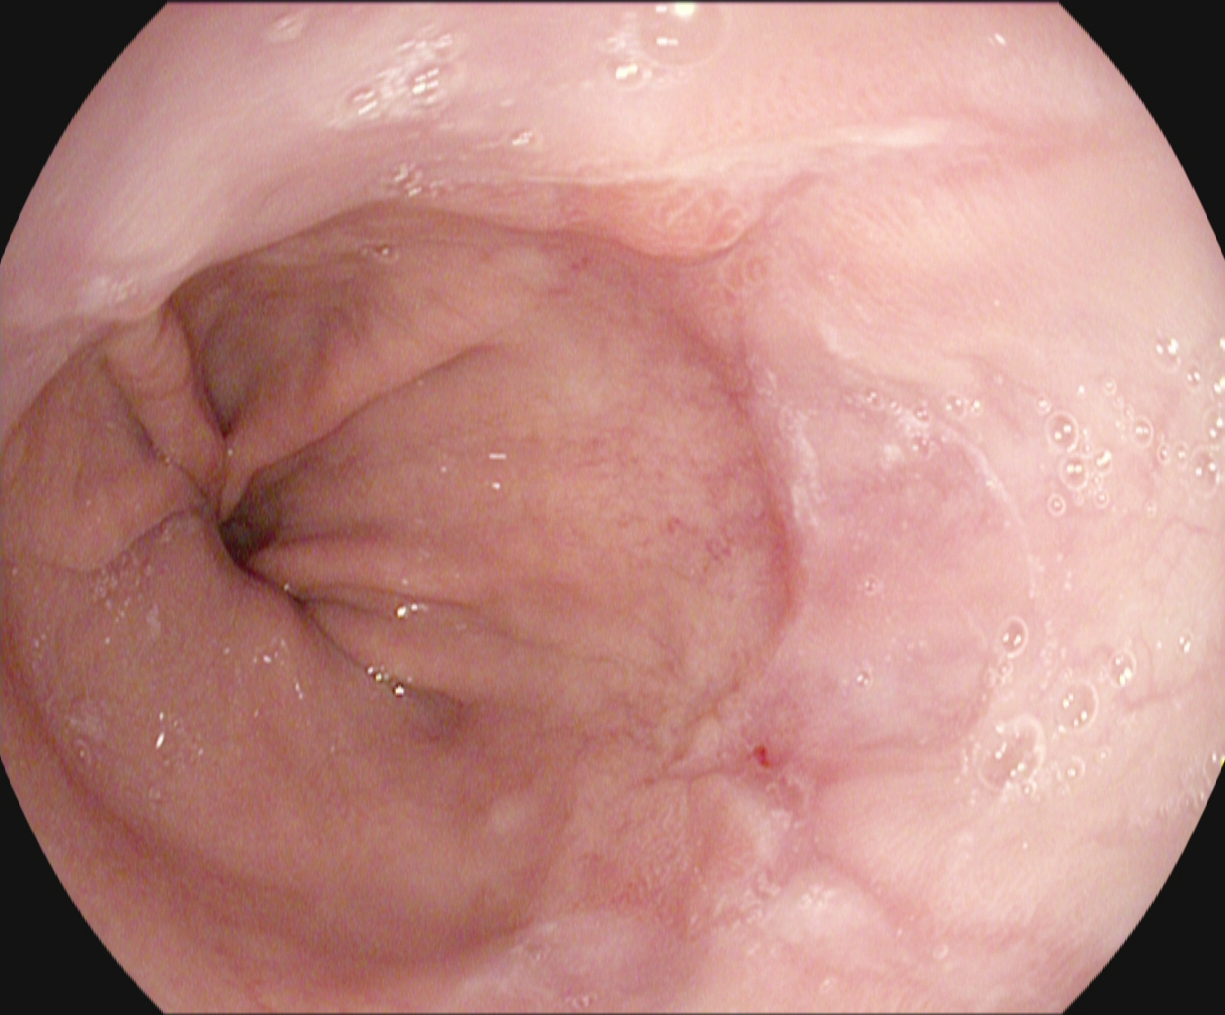PROCEDURE: Gastroscopy.
FINDINGS: Reflux esophagitis, LA grade A.